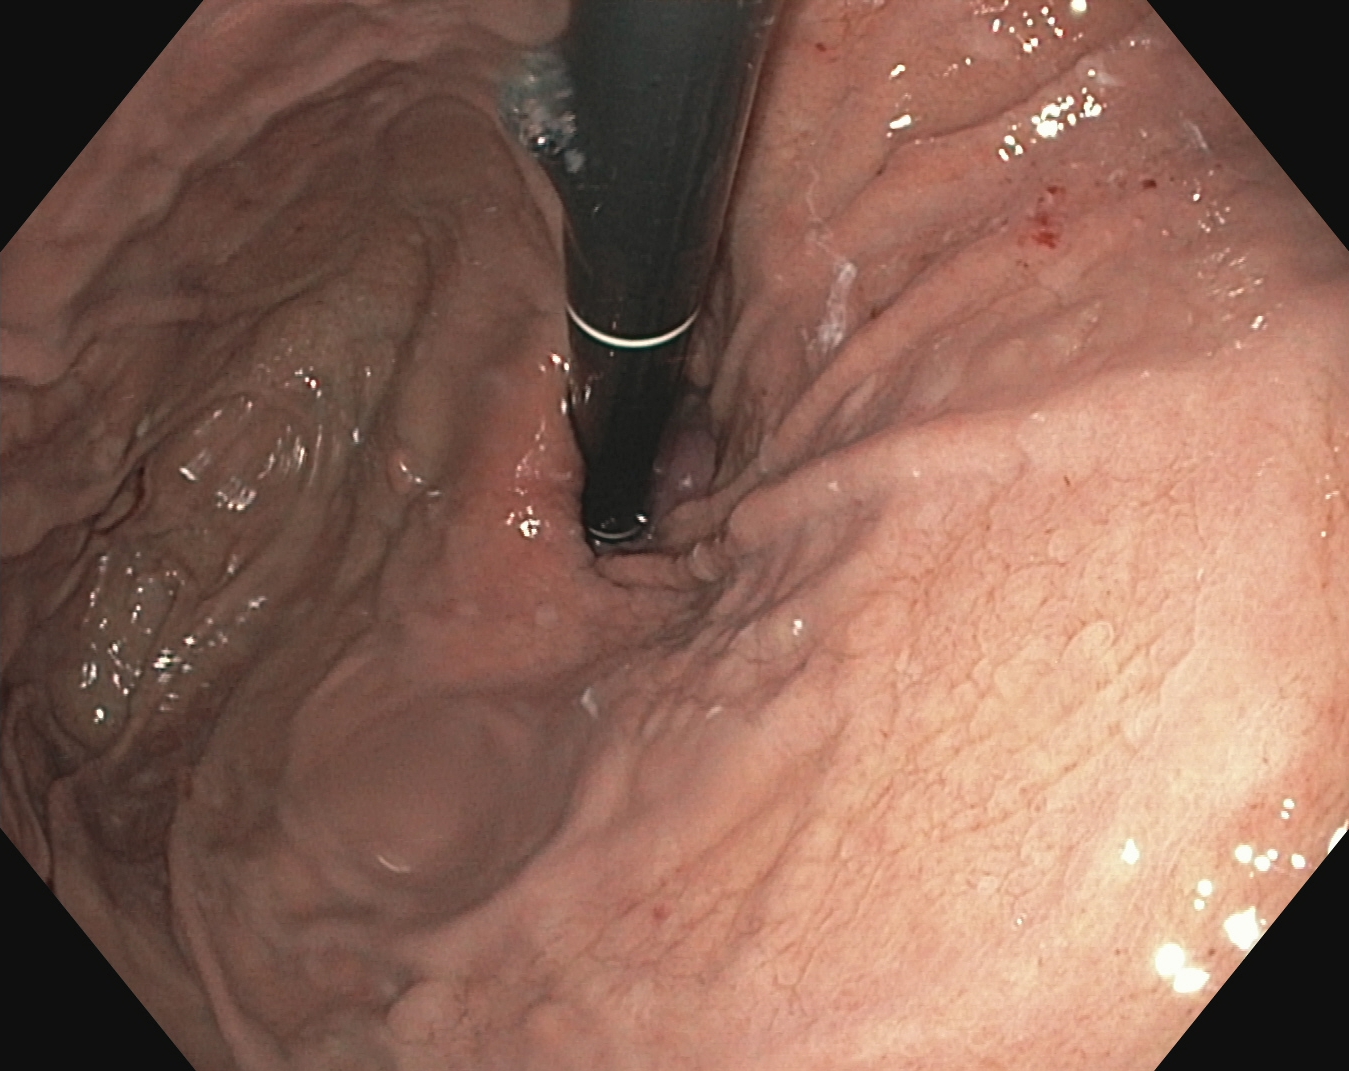PROCEDURE: Esophagogastroduodenoscopy.
FINDINGS: Stomach in retroflexion.